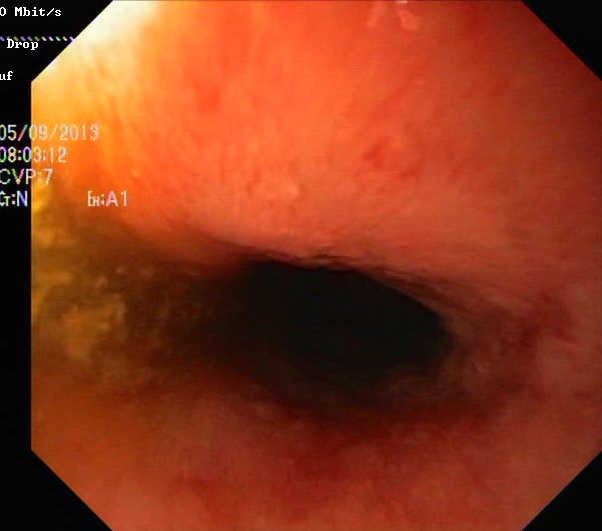Lower gastrointestinal endoscopy. Tract: lower GI tract. Finding: UC, Mayo endoscopic subscore 1.